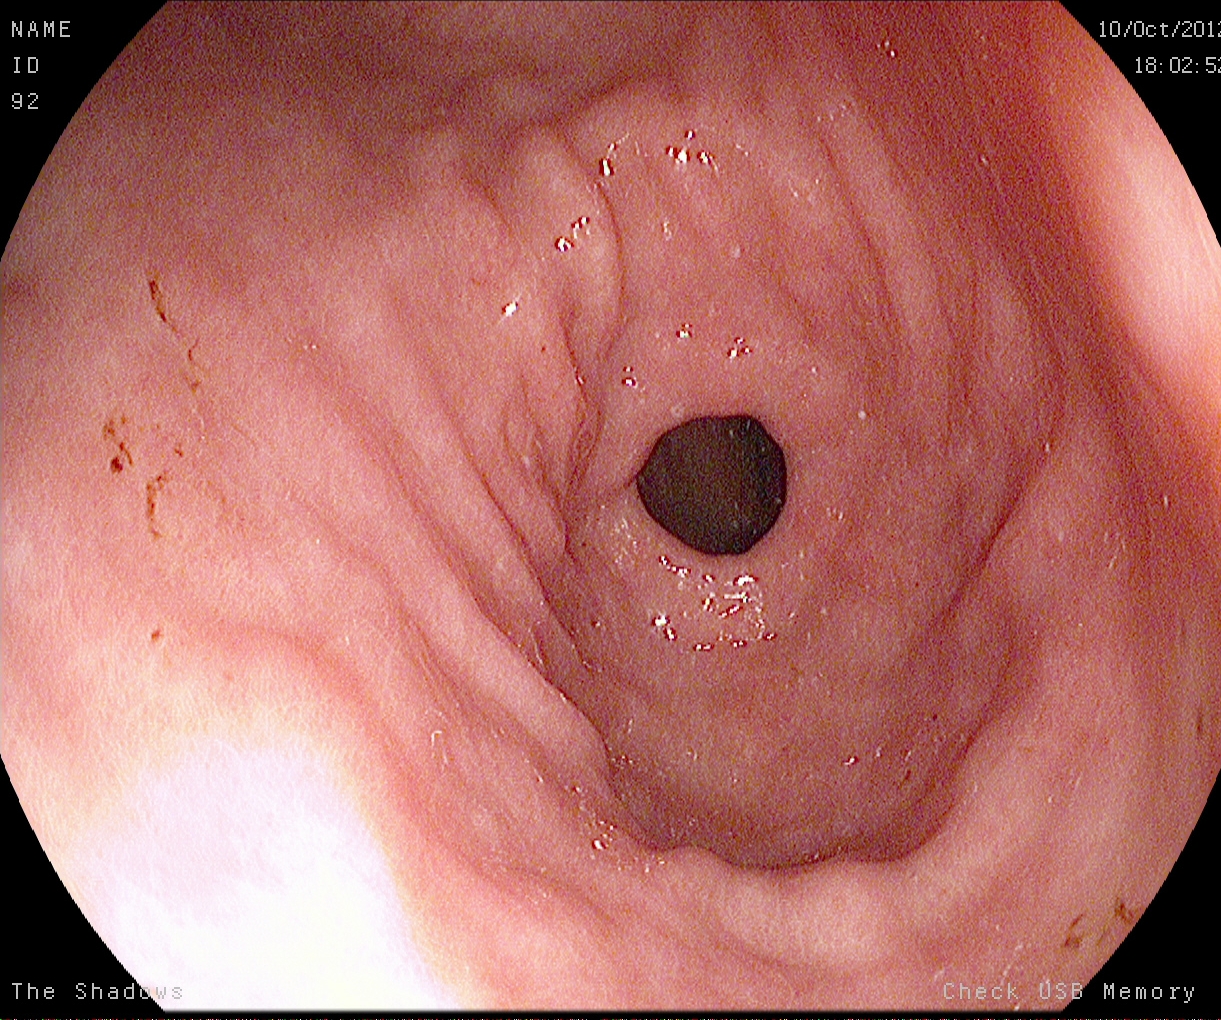GI endoscopy image of the upper GI tract showing pylorus.